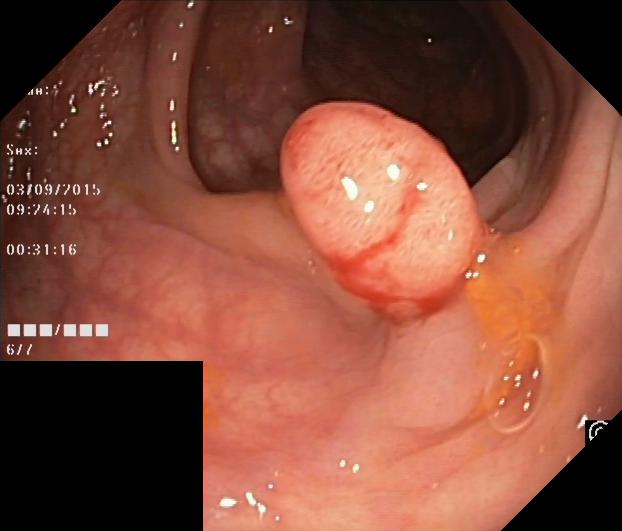{"modality": "lower-GI endoscopy", "category": "pathological finding", "finding": "colorectal polyp(s)"}